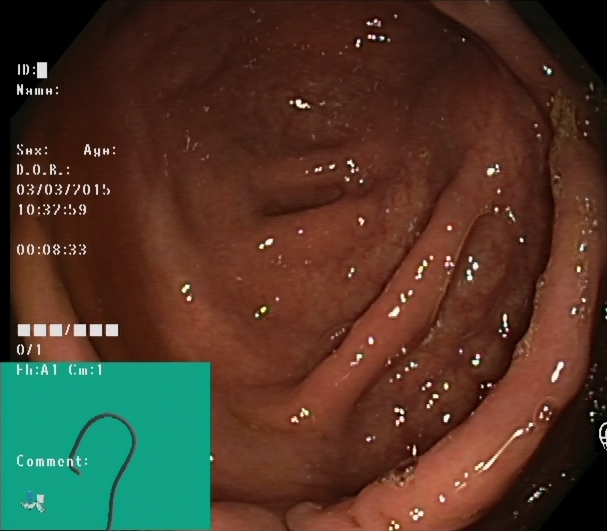{"modality": "lower gastrointestinal endoscopy", "category": "anatomical landmark", "finding": "cecum"}